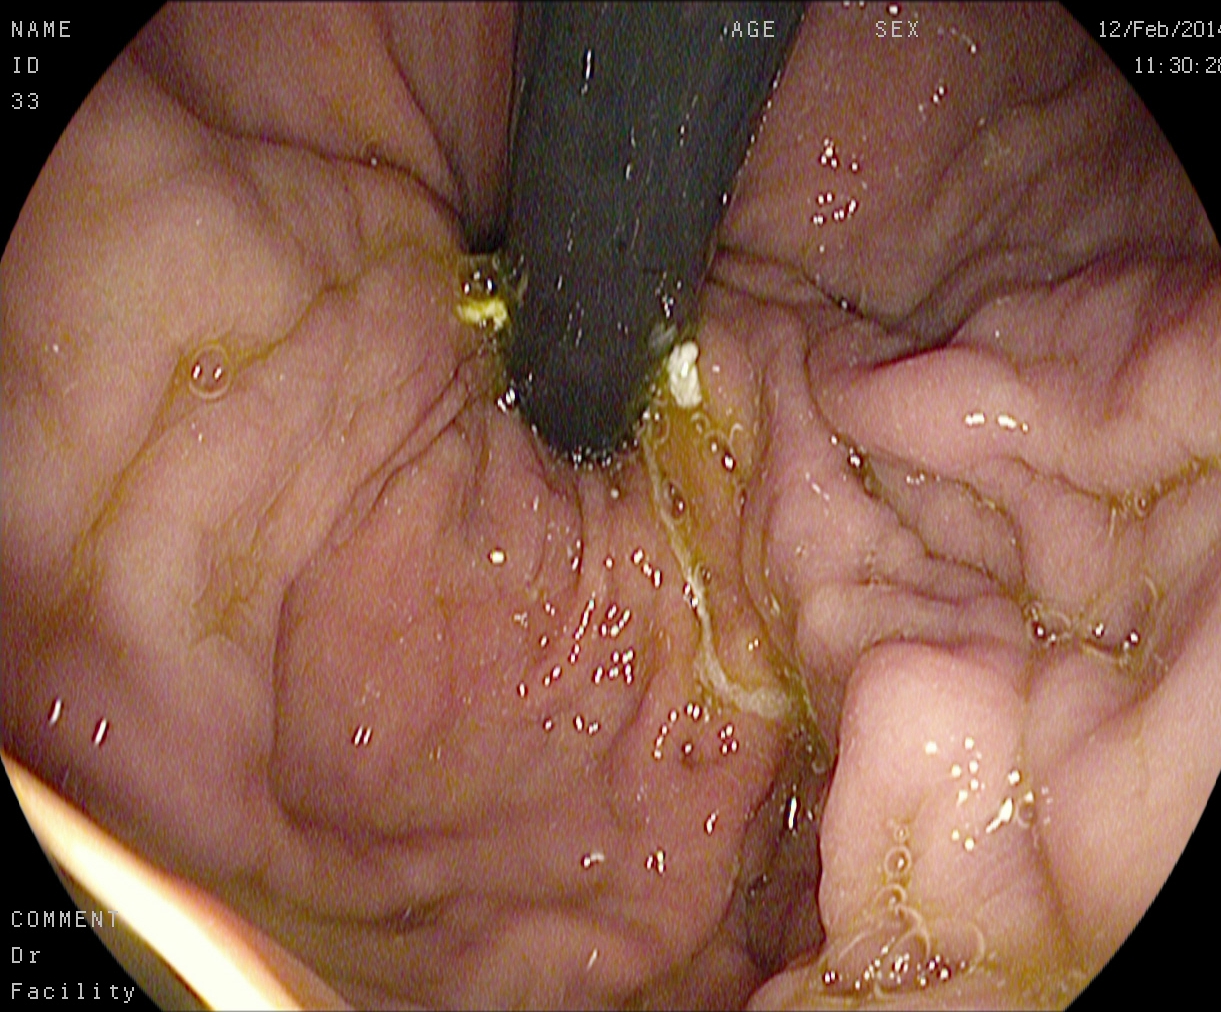Upper-GI endoscopy. Tract: upper GI tract. Anatomical landmark. Finding: stomach in retroflexion.